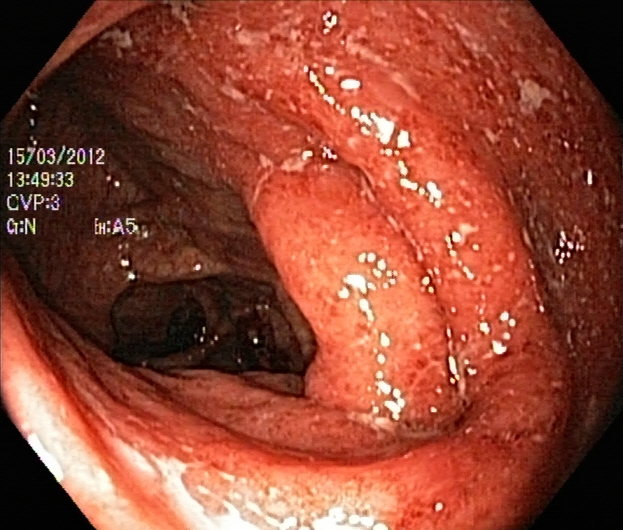modality: lower-GI endoscopy
category: pathological finding
finding: UC, Mayo endoscopic subscore 3